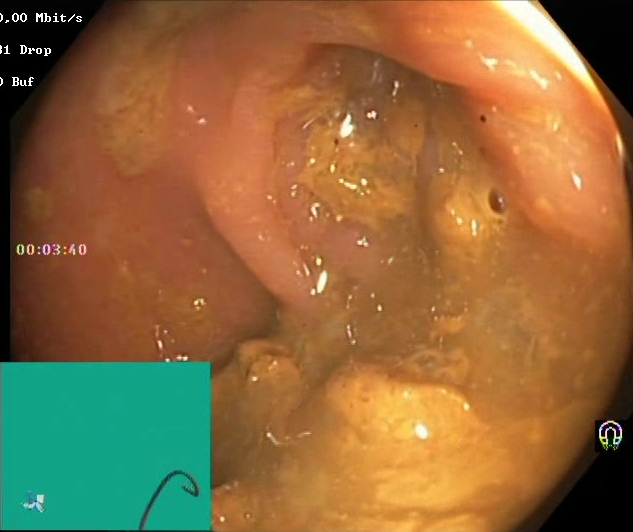Boston Bowel Preparation Scale score 0–1 (inadequate preparation).